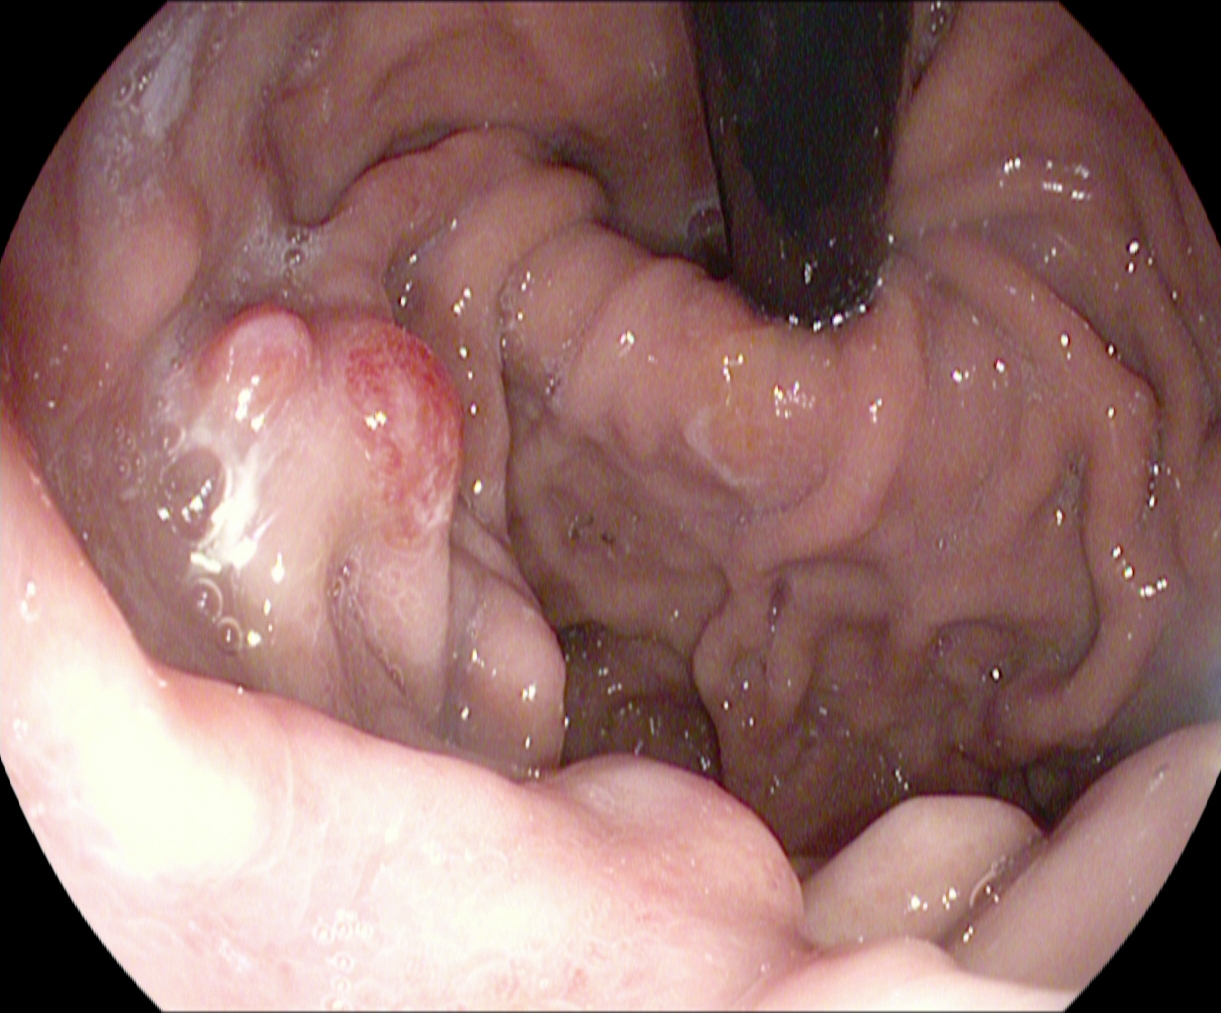PROCEDURE: Upper-GI endoscopy.
FINDINGS: Stomach in retroflexion.